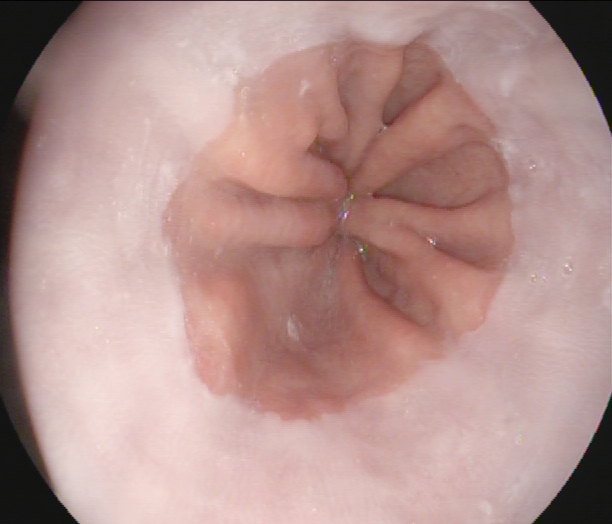EGD. Anatomical landmark. Finding: Z-line (gastroesophageal junction).